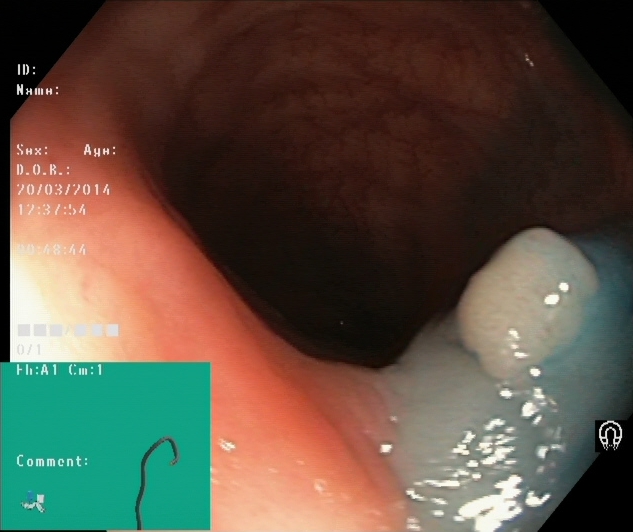This endoscopic image of the lower GI tract shows dyed and lifted polyp (pre-resection).